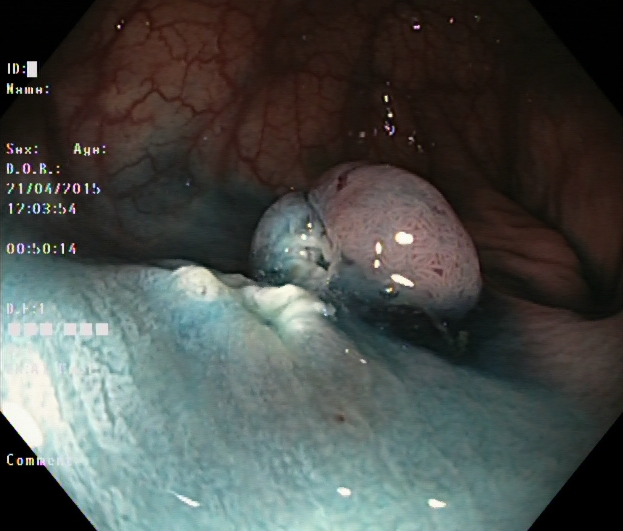PROCEDURE: Lower gastrointestinal endoscopy.
FINDINGS: Dyed and lifted polyp (pre-resection).